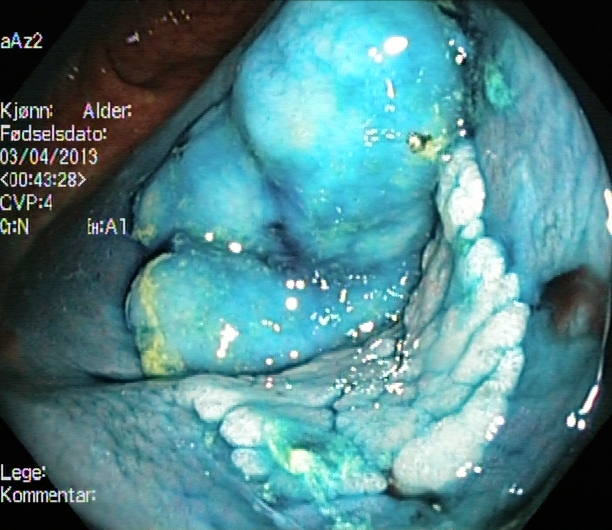modality: lower gastrointestinal endoscopy; tract: lower GI tract; category: therapeutic intervention; finding: dyed and lifted polyp (pre-resection)